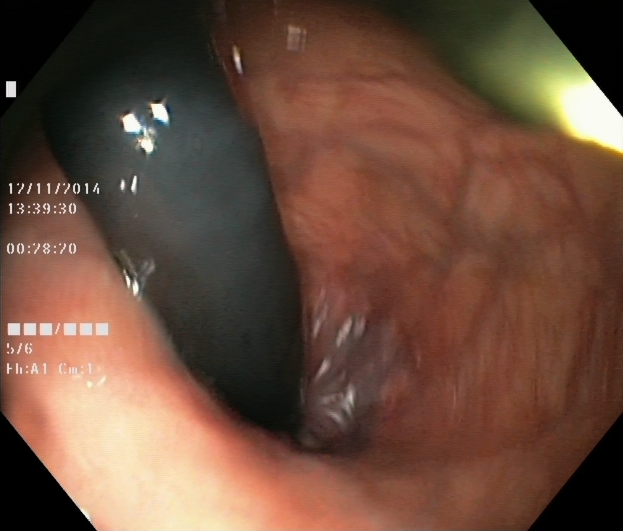Colonoscopy image showing rectum in retroflexion.